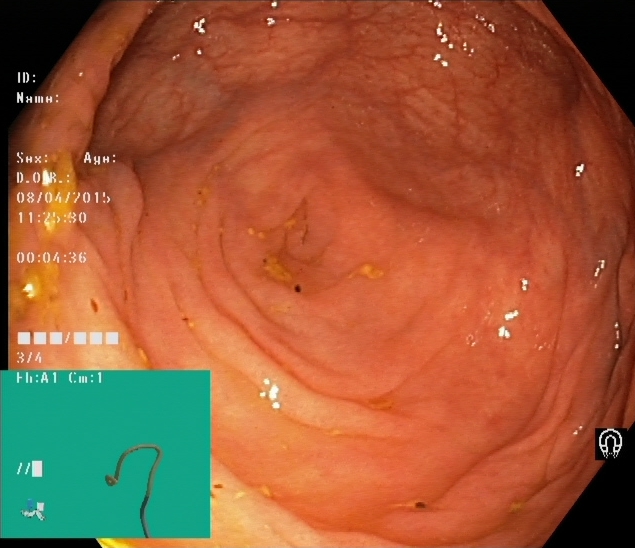This endoscopy frame shows cecum.